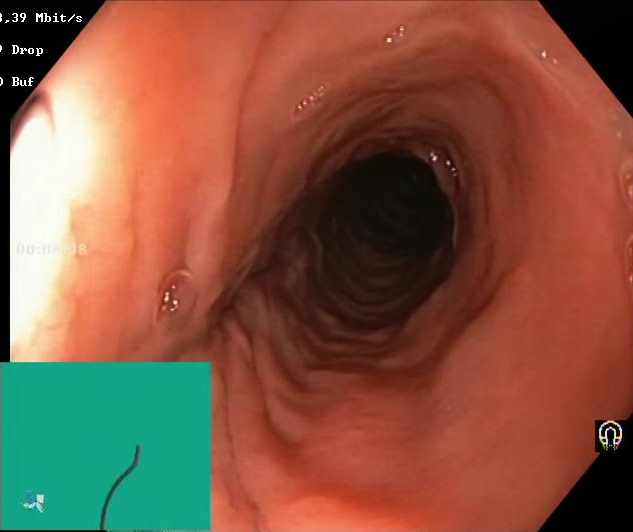{"modality": "lower gastrointestinal endoscopy", "tract": "lower GI tract", "finding": "Boston Bowel Preparation Scale score 2\u20133 (adequate preparation)"}